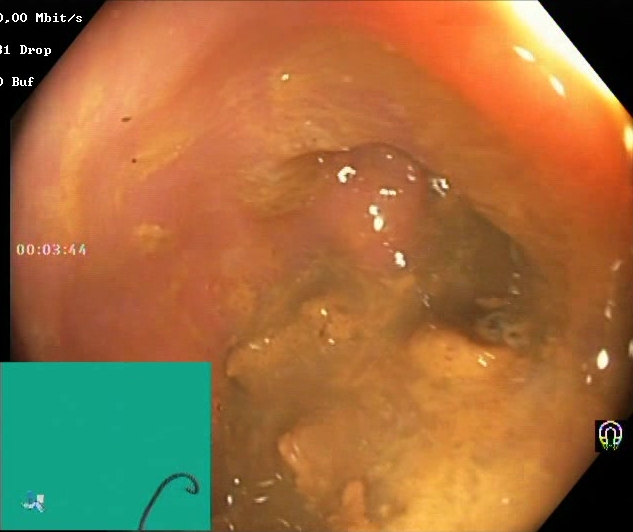GI endoscopy image of the lower GI tract showing BBPS score 0–1 (inadequate preparation).